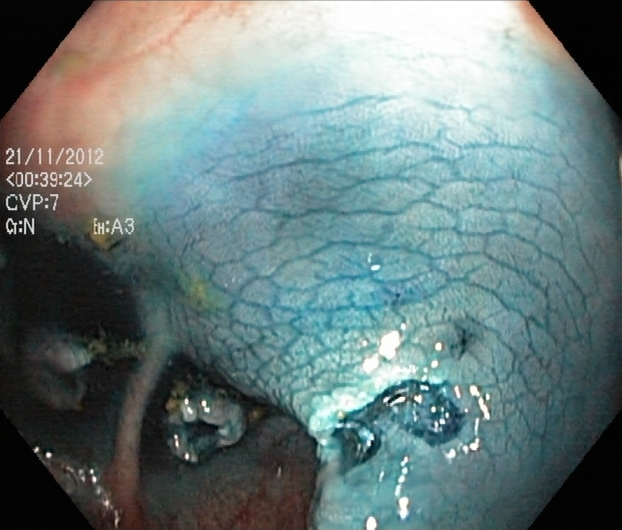PROCEDURE: Colonoscopy.
FINDINGS: Dyed resection margins (post-polypectomy).